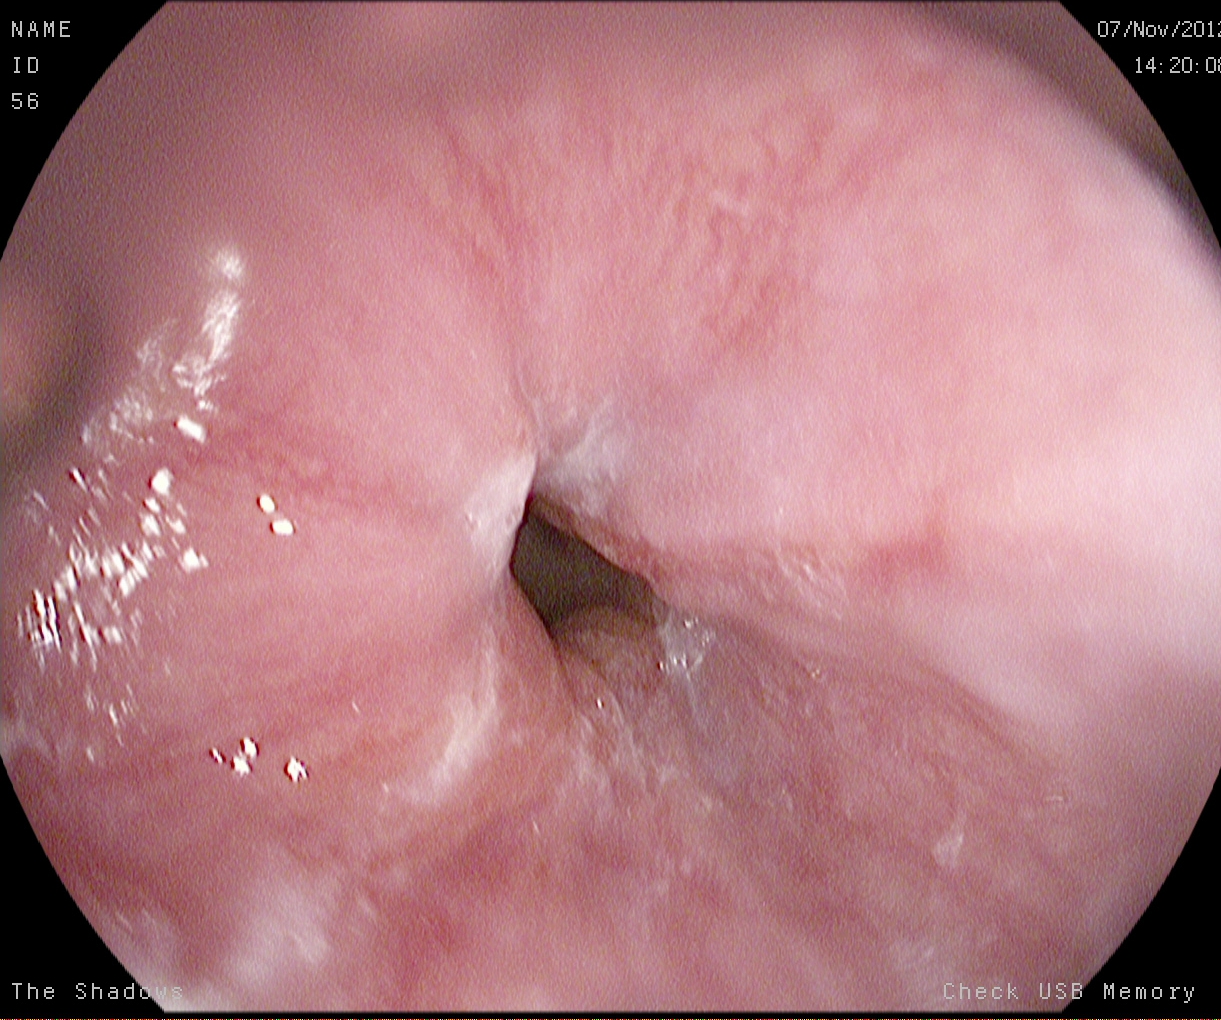reflux esophagitis, LA grade A.